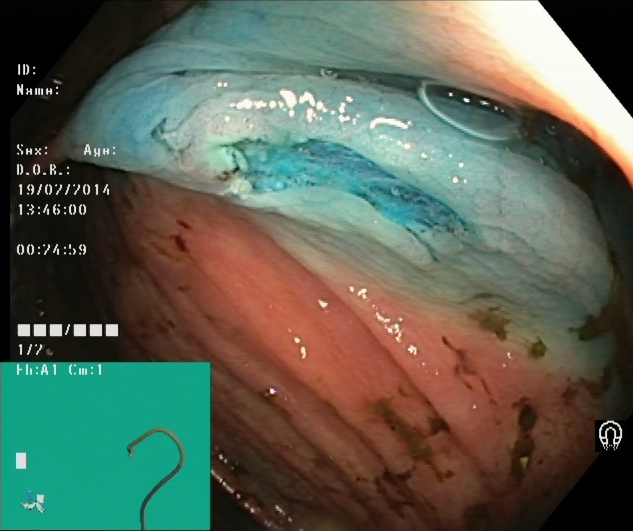Colonoscopy — dyed resection margins (post-polypectomy).